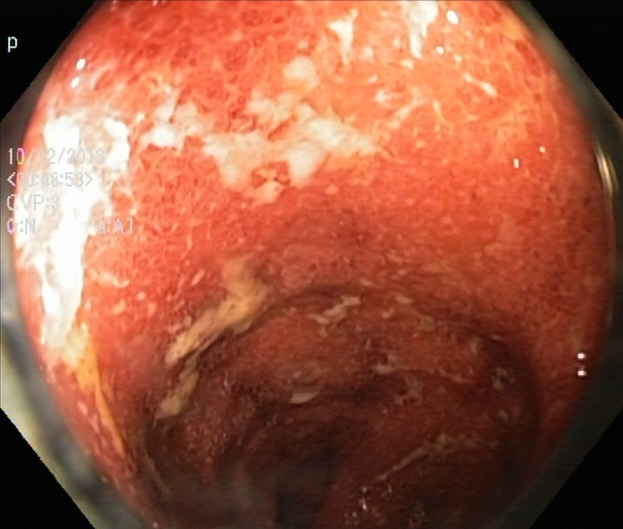{"modality": "lower-GI endoscopy", "tract": "lower GI tract", "finding": "ulcerative colitis, Mayo endoscopic subscore 2\u20133"}